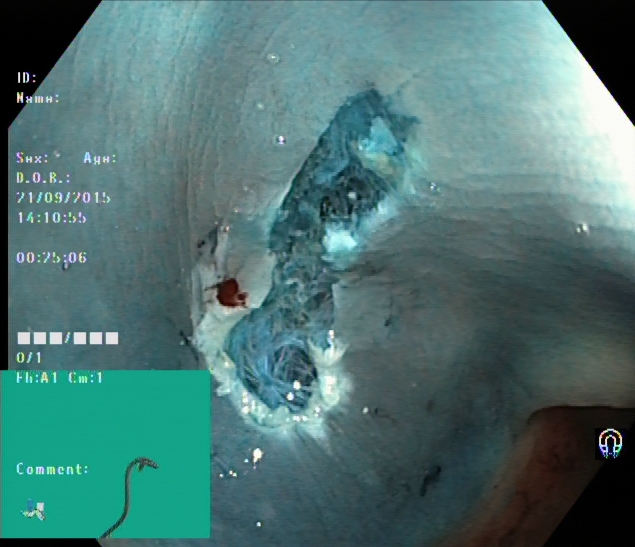Endoscopy image showing dyed resection margins (post-polypectomy).